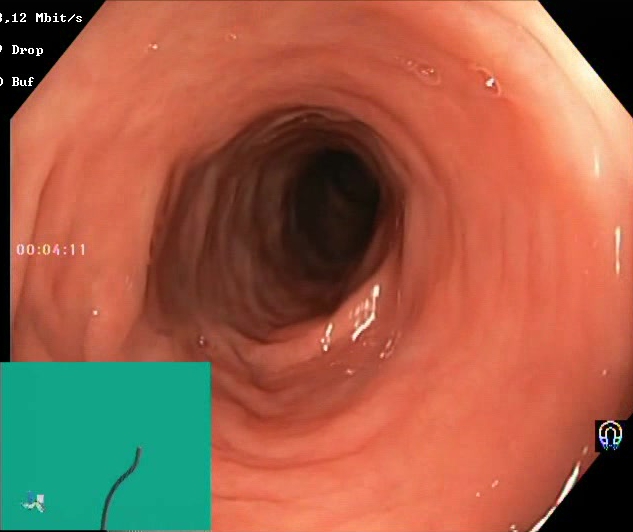Endoscopy image showing BBPS score 2–3 (adequate preparation).